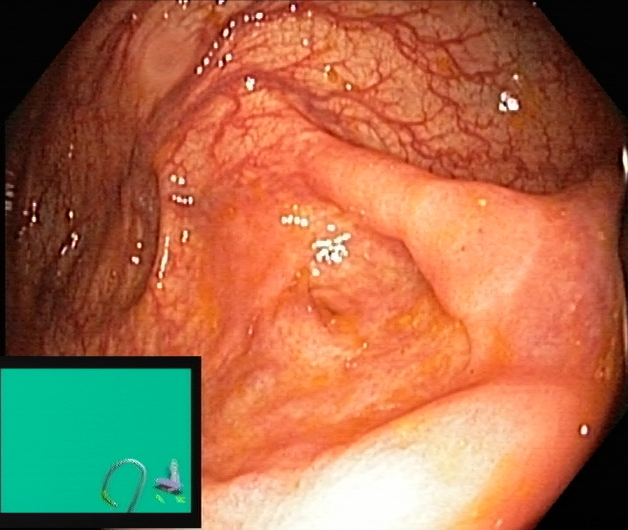PROCEDURE: Lower-GI endoscopy.
CATEGORY: Anatomical landmark.
FINDINGS: Cecum.